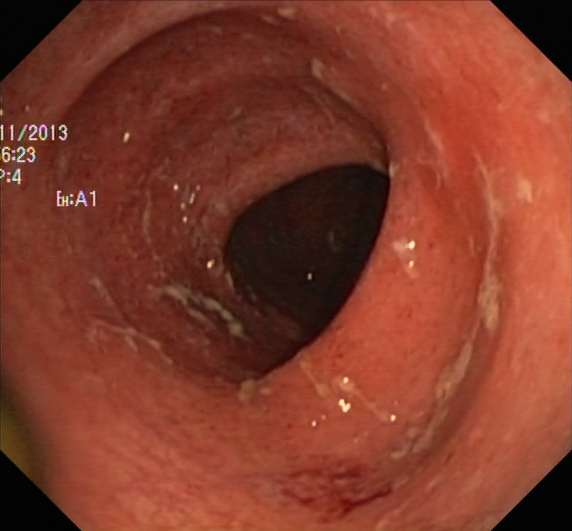modality: colonoscopy; tract: lower GI tract; finding: UC, Mayo endoscopic subscore 1